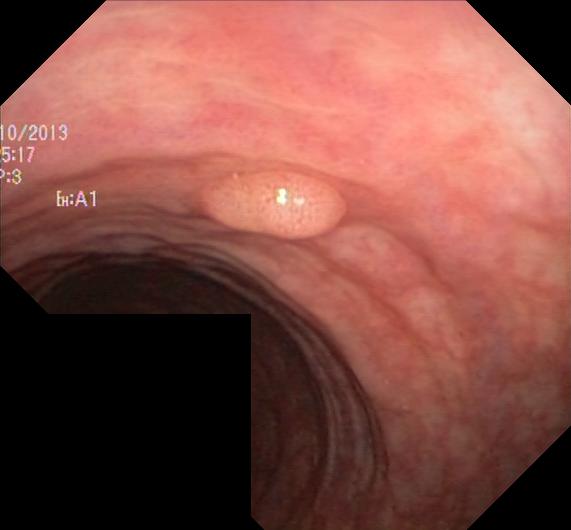Colorectal polyp(s).